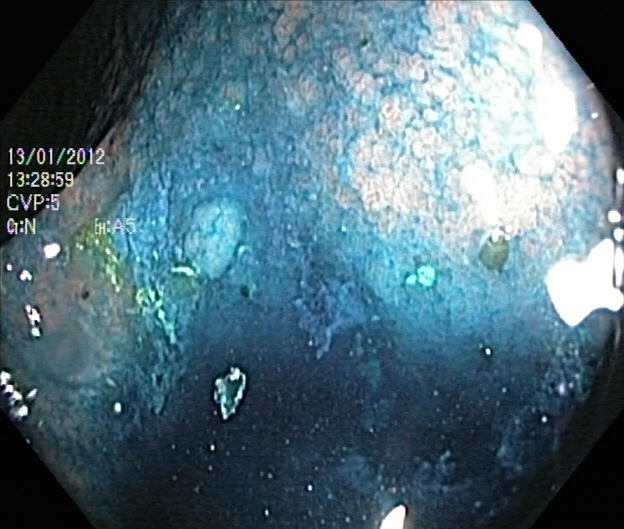{"modality": "lower gastrointestinal endoscopy", "category": "therapeutic intervention", "finding": "dyed and lifted polyp (pre-resection)"}